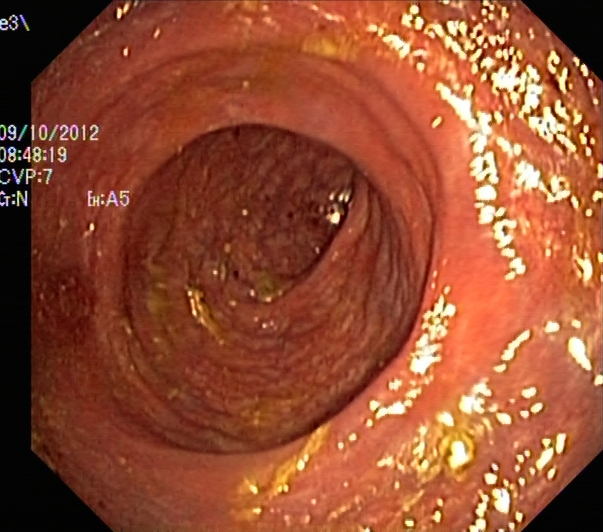{"modality": "lower-GI endoscopy", "tract": "lower GI tract", "finding": "UC, Mayo endoscopic subscore 1"}